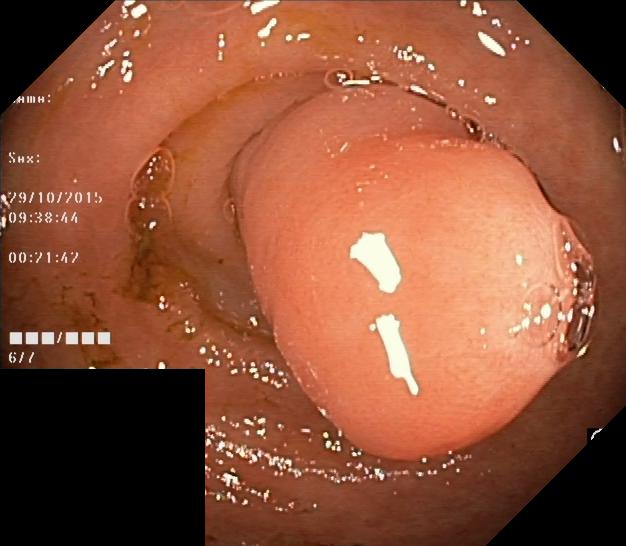{"modality": "lower gastrointestinal endoscopy", "finding": "colorectal polyp(s)"}